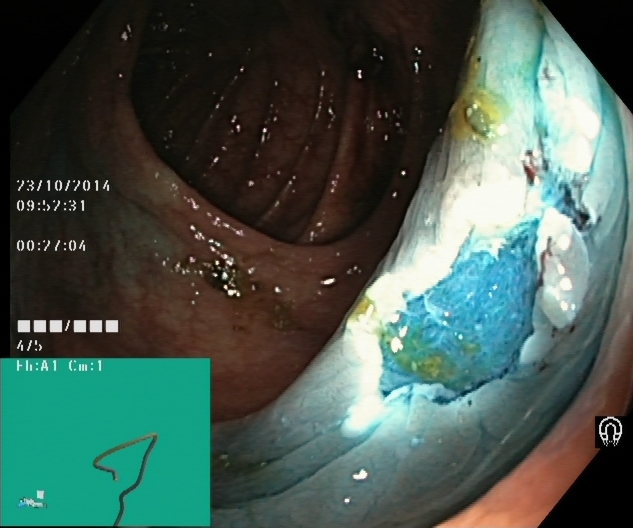modality: lower-GI endoscopy; finding: dyed resection margins (post-polypectomy)